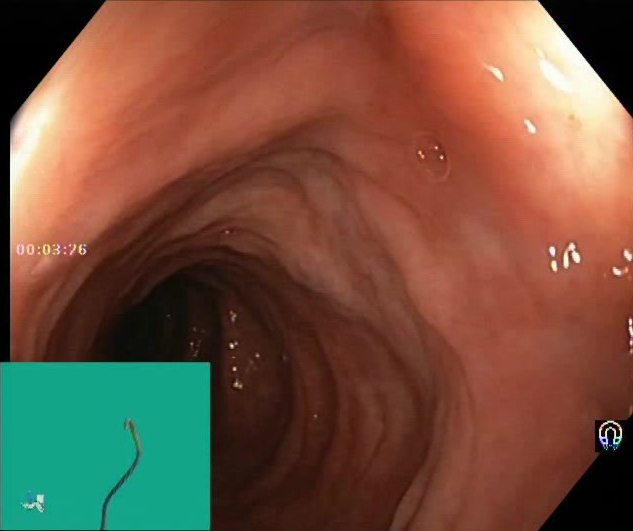This endoscopy frame of the lower GI tract shows Boston Bowel Preparation Scale score 2–3 (adequate preparation).